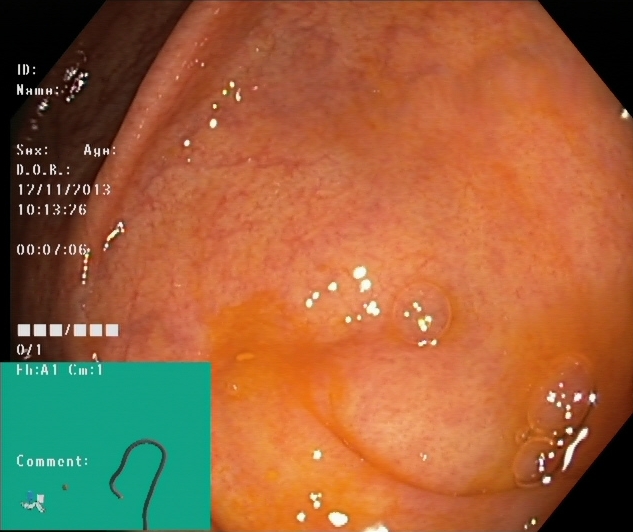Colonoscopy. Tract: lower GI tract. Finding: cecum.